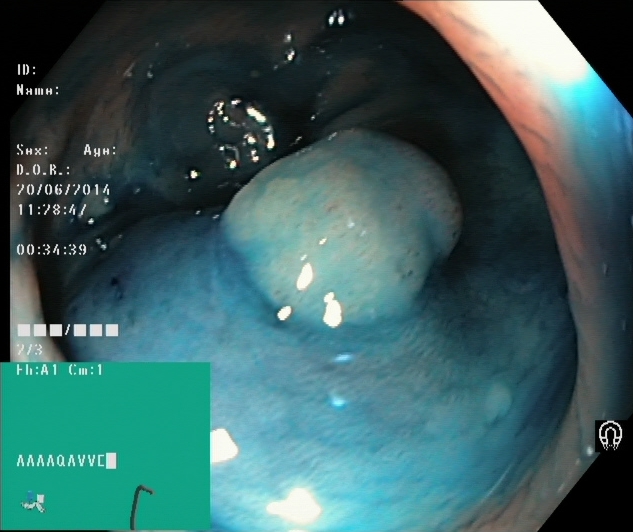Lower gastrointestinal endoscopy. Tract: lower GI tract. Finding: dyed and lifted polyp (pre-resection).